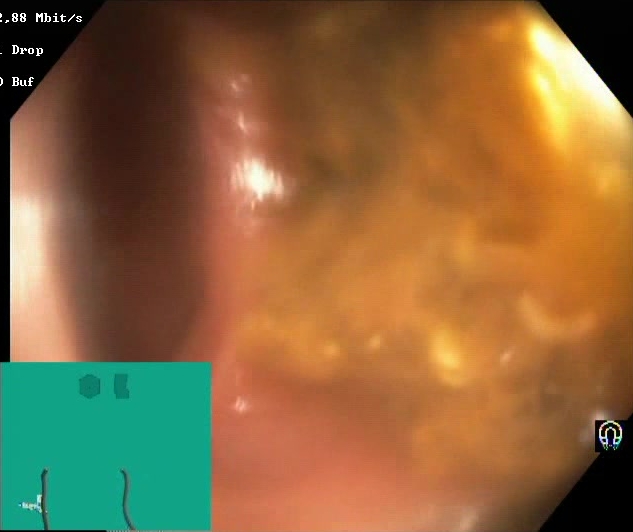{"modality": "lower-GI endoscopy", "tract": "lower GI tract", "category": "mucosal-view quality", "finding": "Boston Bowel Preparation Scale score 0\u20131 (inadequate preparation)"}